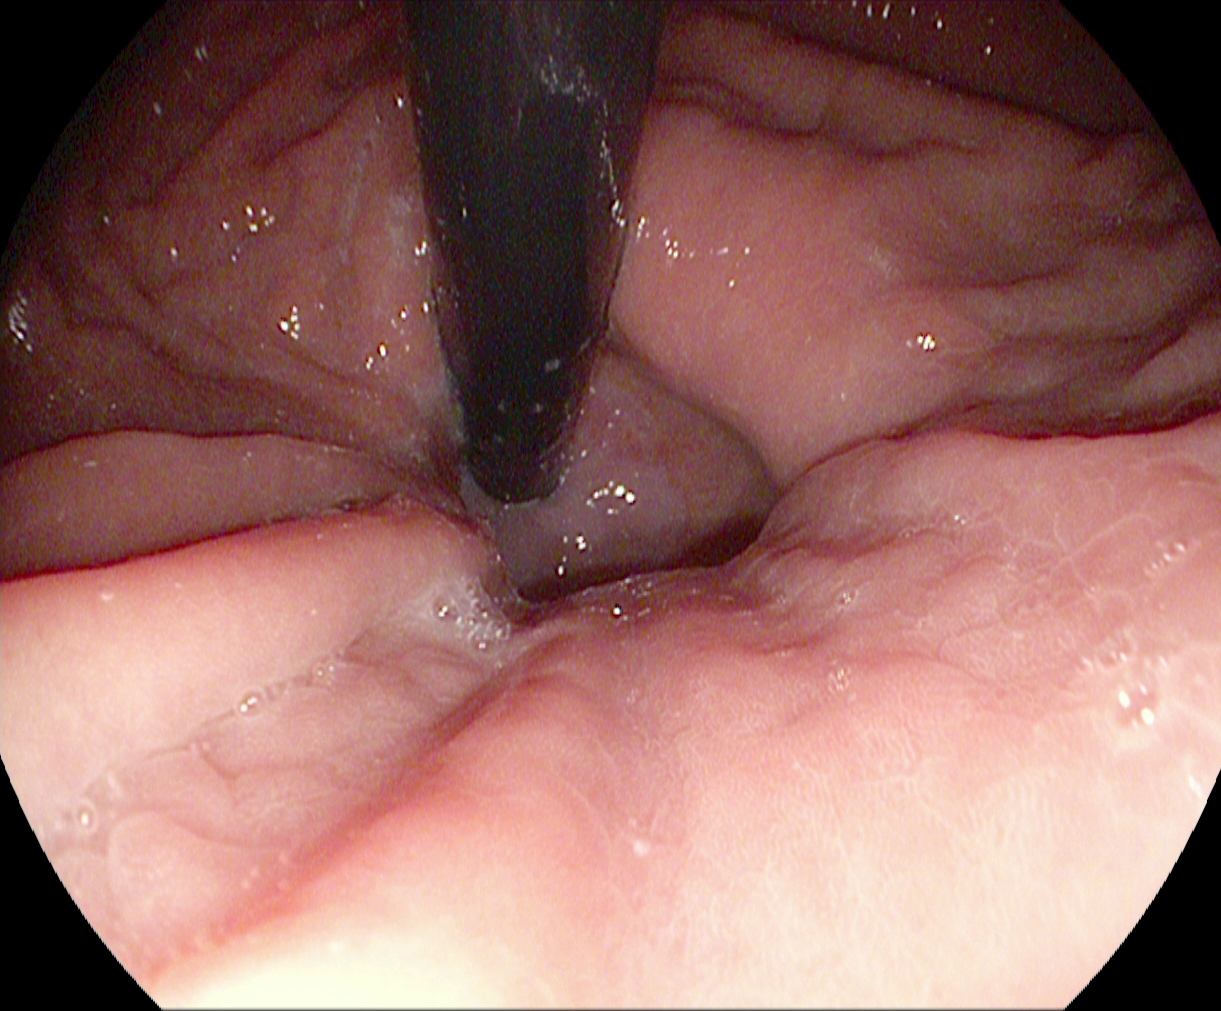This endoscopy frame shows stomach in retroflexion.